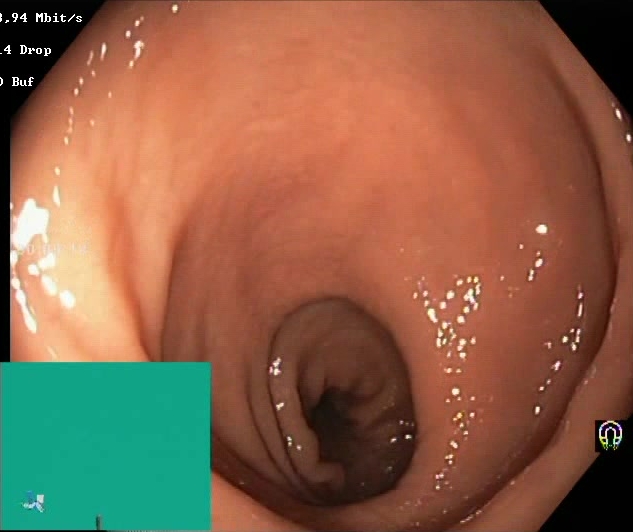BBPS score 2–3 (adequate preparation).